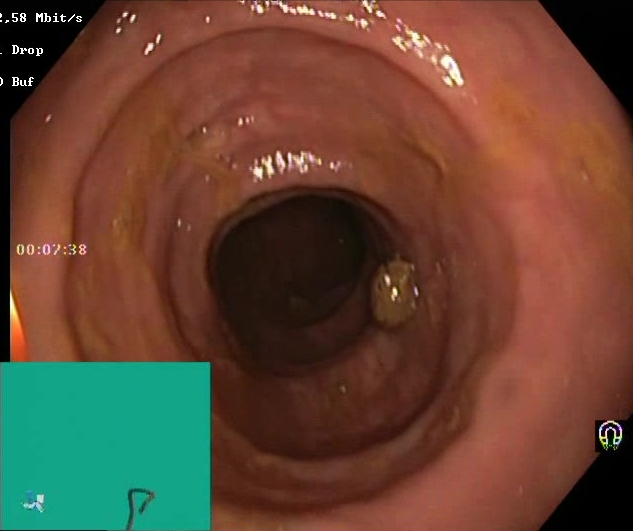Gastrointestinal endoscopy image showing BBPS score 2–3 (adequate preparation).